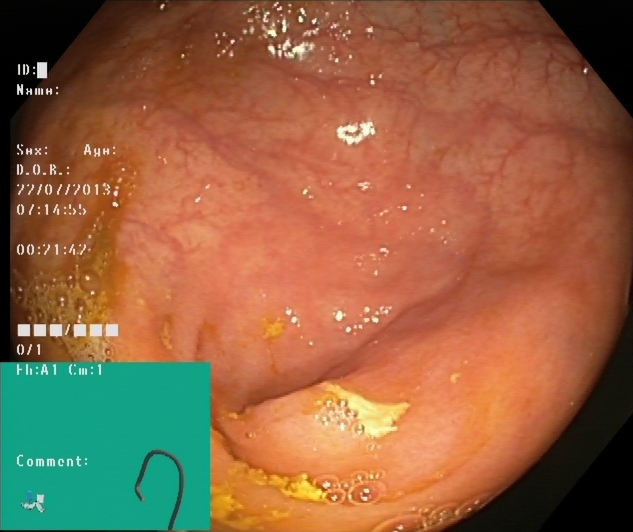PROCEDURE: Lower-GI endoscopy.
FINDINGS: Cecum.